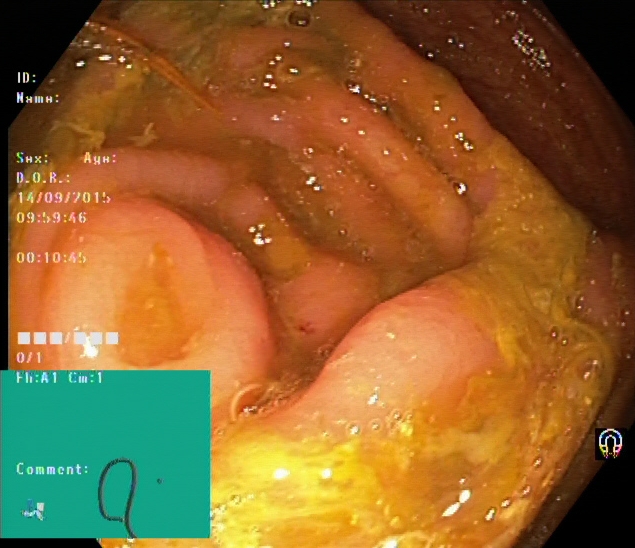Lower-GI endoscopy. Tract: lower GI tract. Anatomical landmark. Finding: cecum.